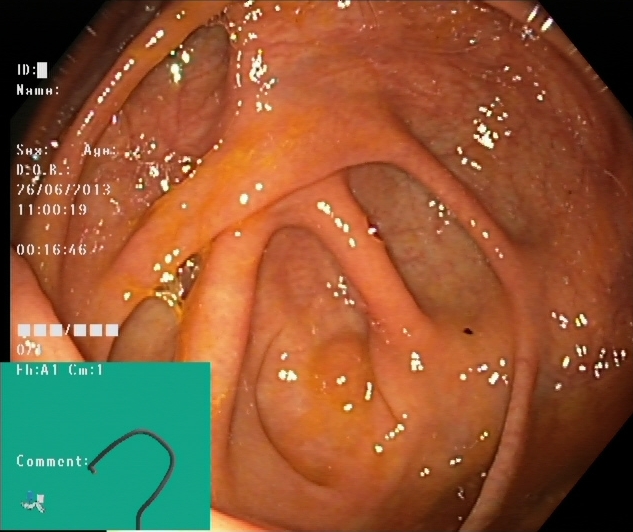Lower gastrointestinal endoscopy image showing cecum.